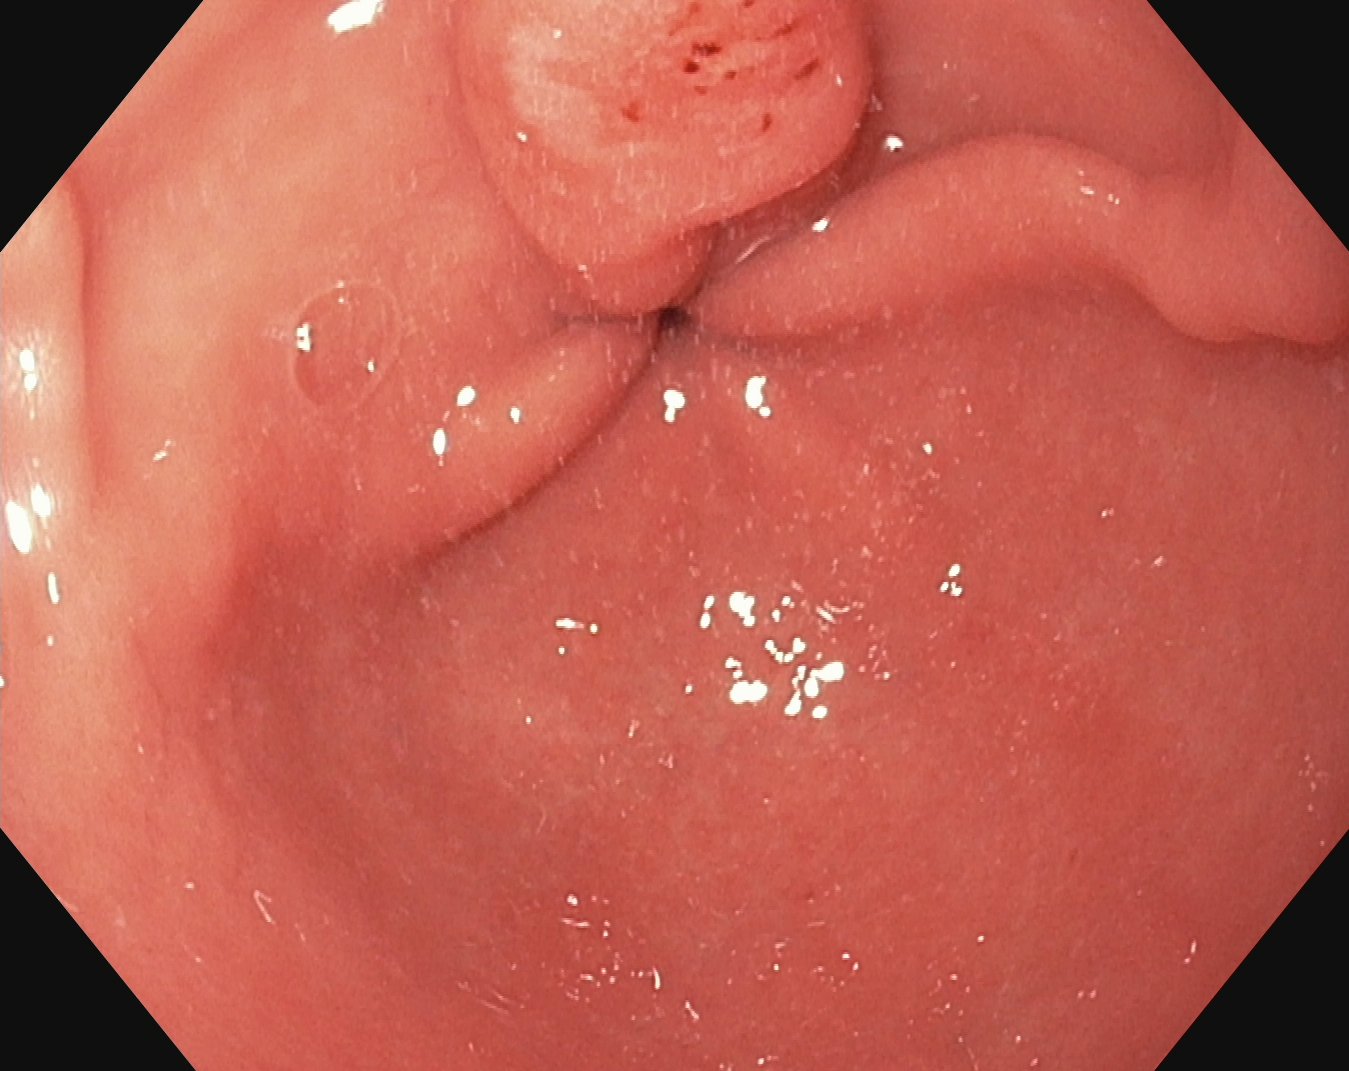Pylorus.